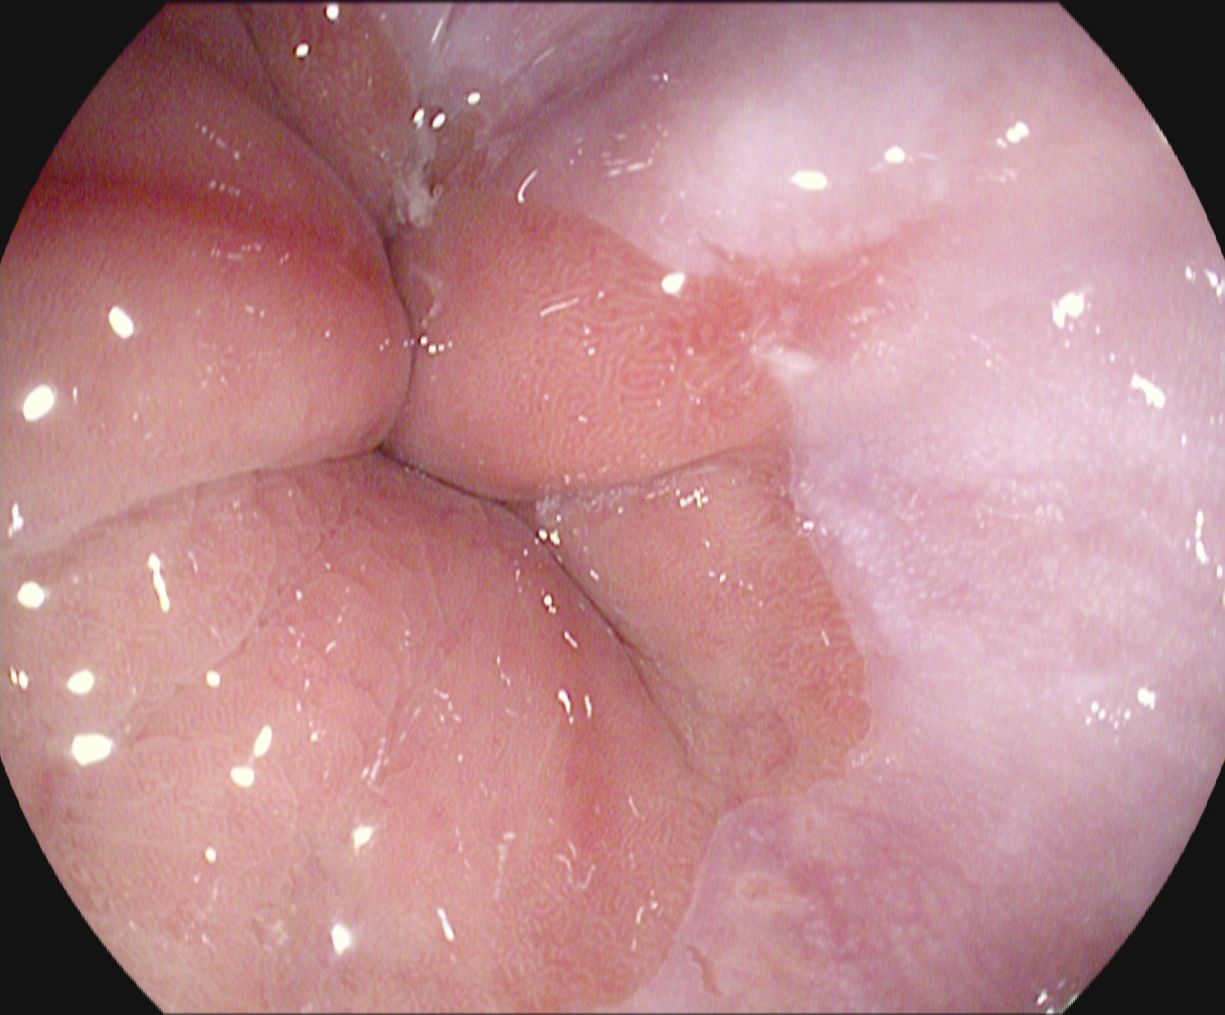Reflux esophagitis, Los Angeles grade A.